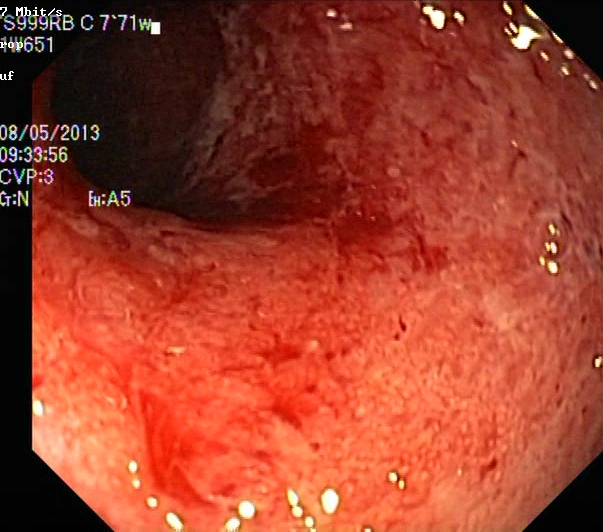{"modality": "lower gastrointestinal endoscopy", "finding": "UC, Mayo endoscopic subscore 3"}